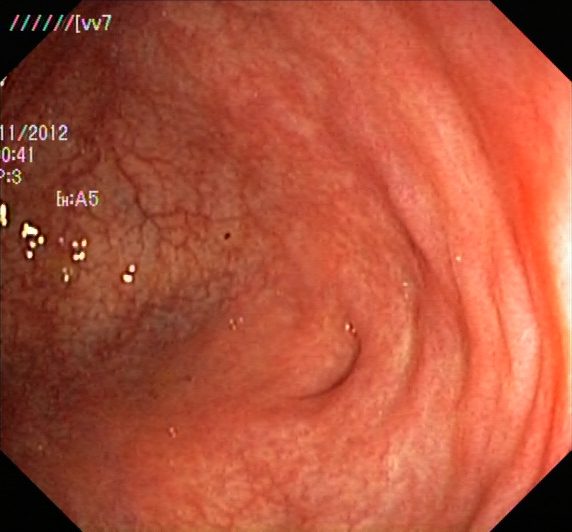Colonoscopy image of the lower GI tract showing cecum.